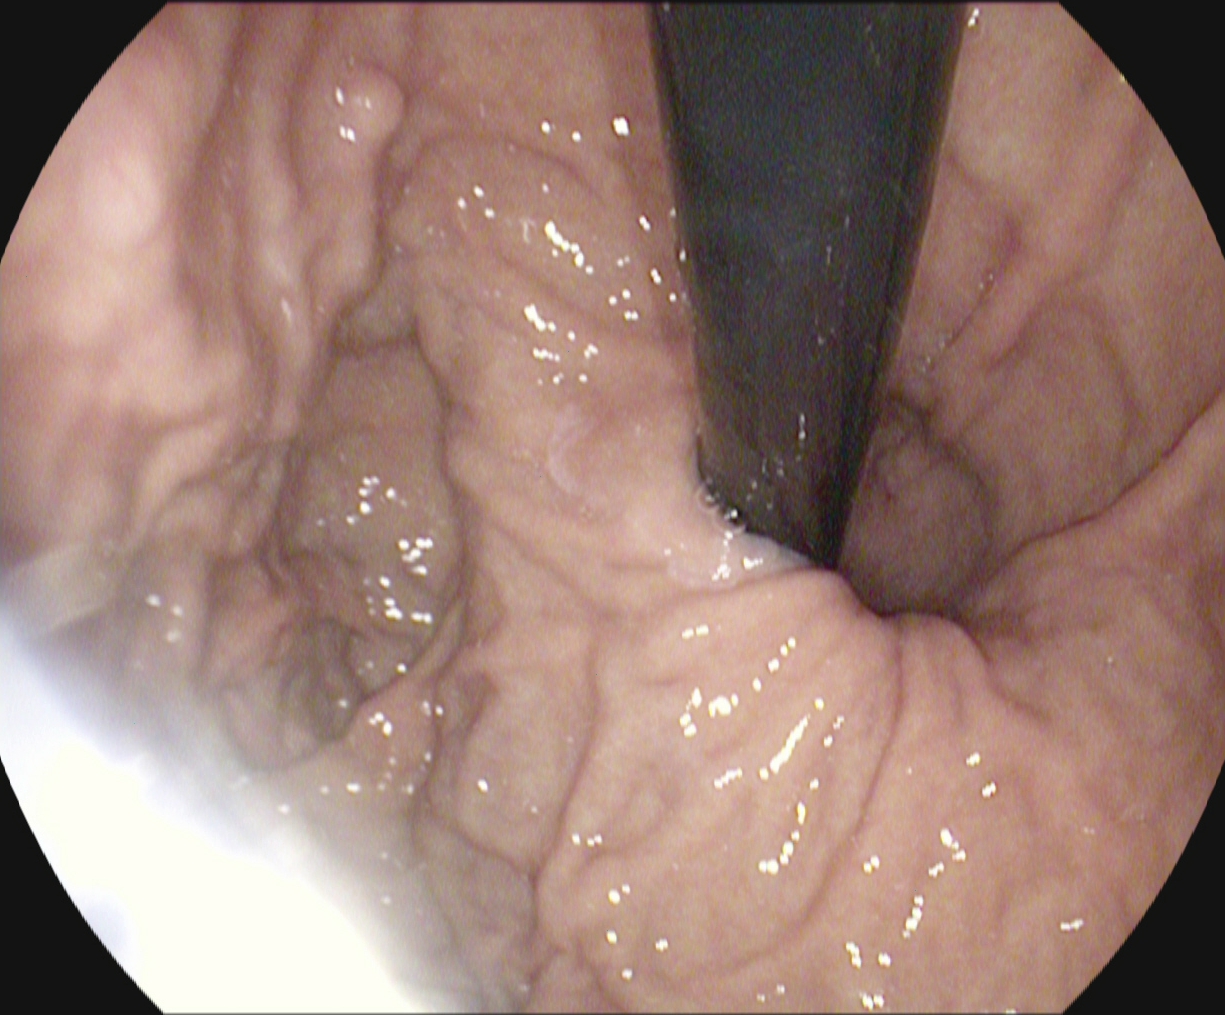Stomach in retroflexion.